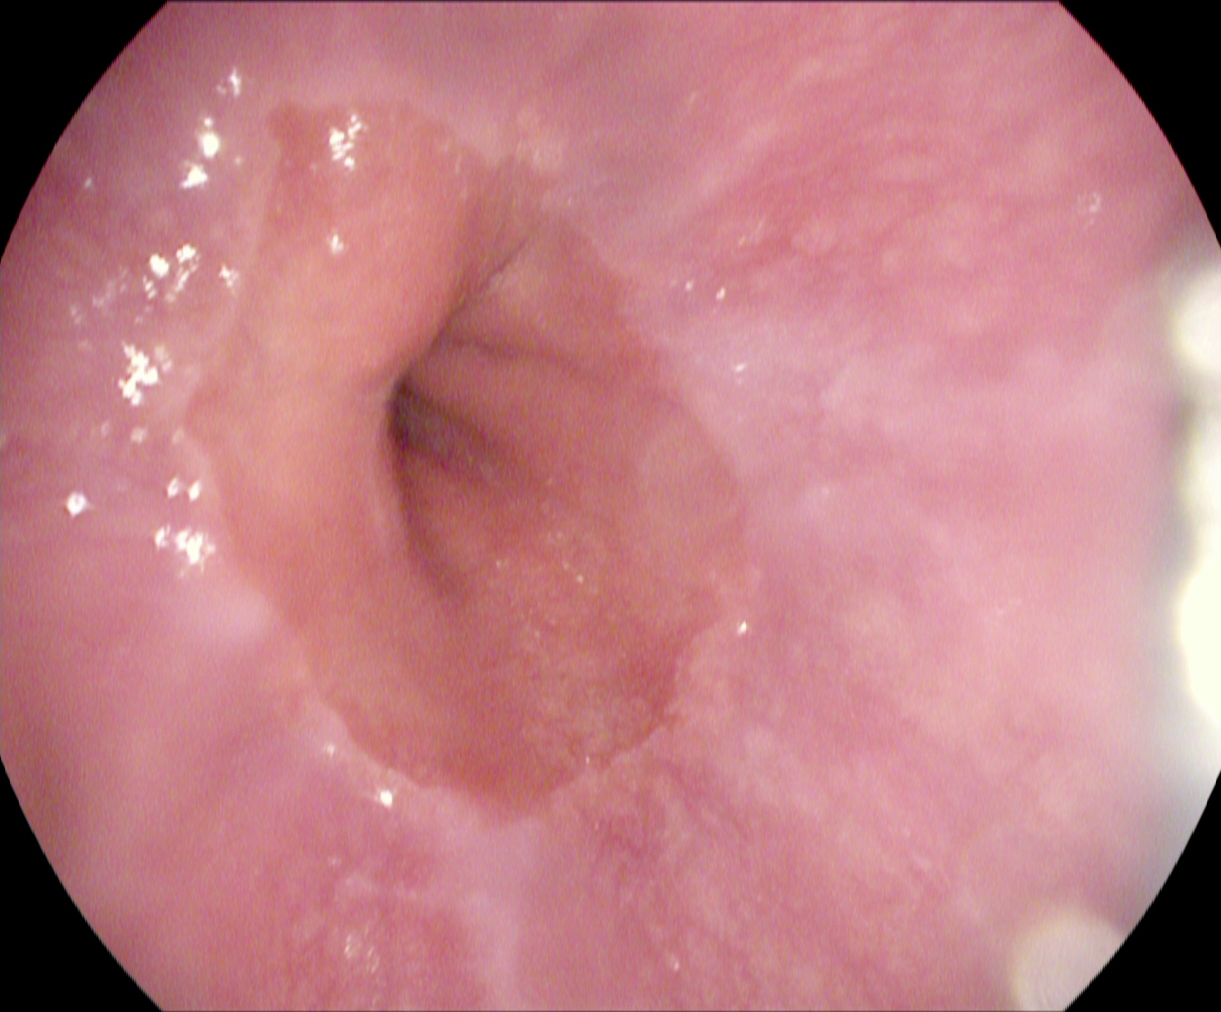Z-line (gastroesophageal junction).